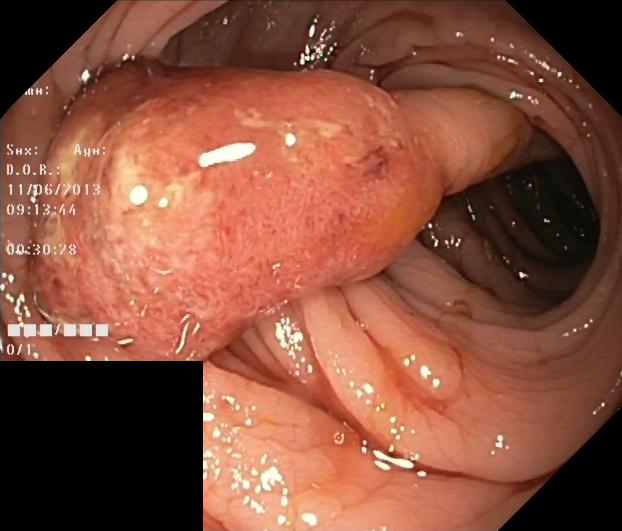Colonoscopy. Pathological finding. Finding: colorectal polyp(s).